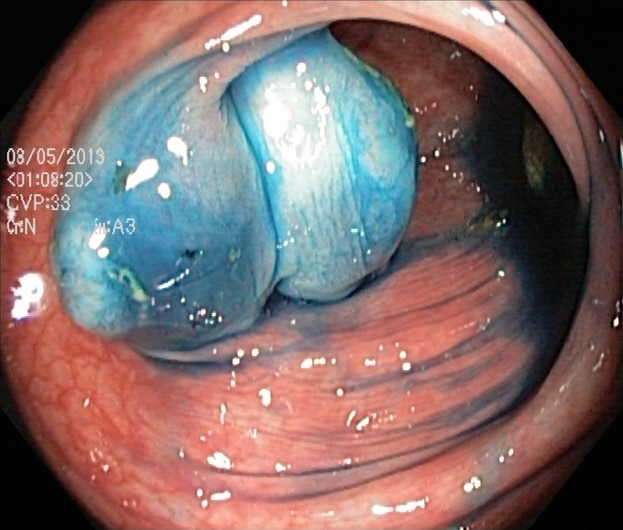Colonoscopy. Tract: lower GI tract. Therapeutic intervention. Finding: dyed and lifted polyp (pre-resection).